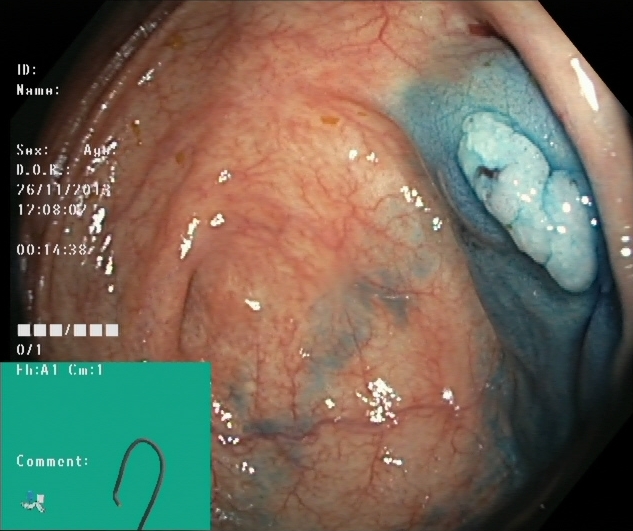{"modality": "lower gastrointestinal endoscopy", "tract": "lower GI tract", "finding": "dyed and lifted polyp (pre-resection)"}